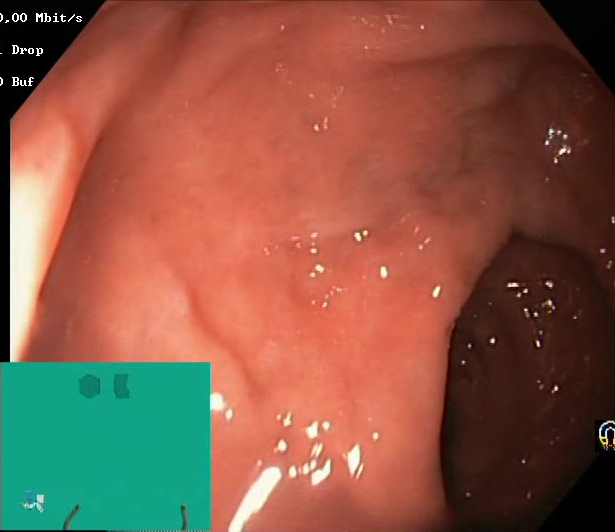BBPS score 2–3 (adequate preparation).